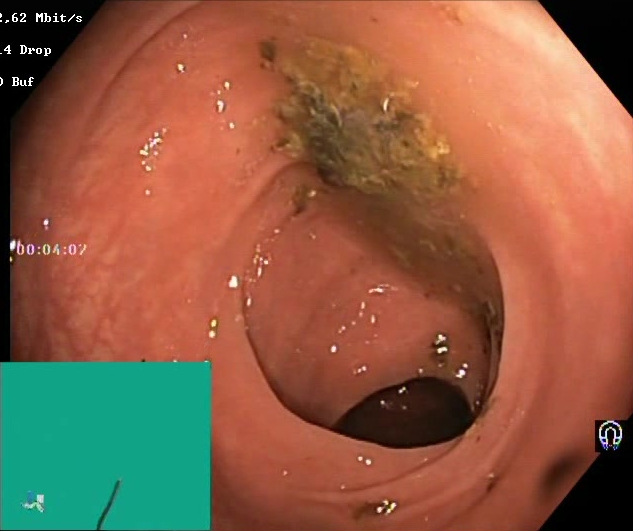This endoscopy frame shows Boston Bowel Preparation Scale score 0–1 (inadequate preparation).